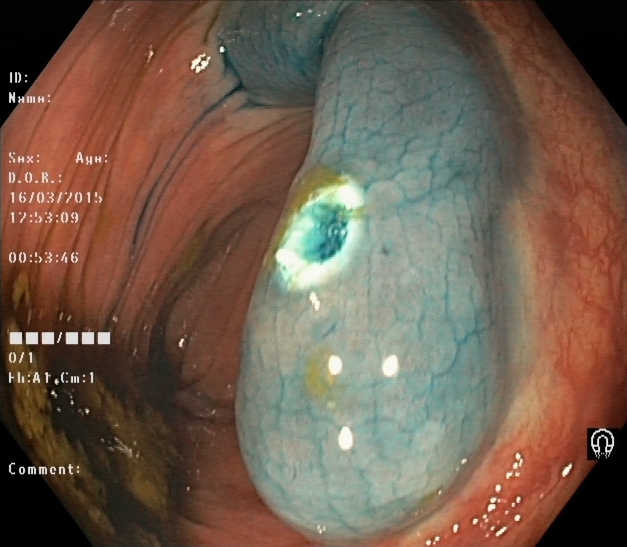Lower gastrointestinal endoscopy image of the lower GI tract showing dyed resection margins (post-polypectomy).